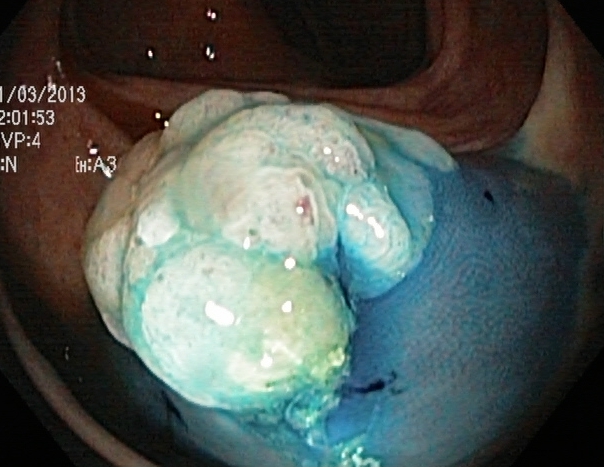Dyed and lifted polyp (pre-resection).